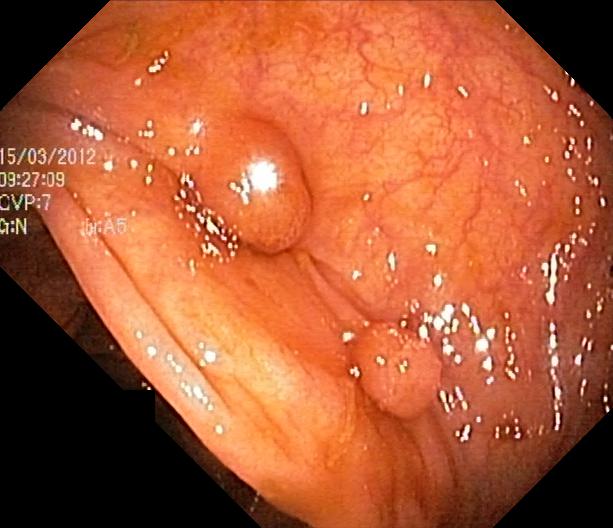{"modality": "lower gastrointestinal endoscopy", "finding": "colorectal polyp(s)"}